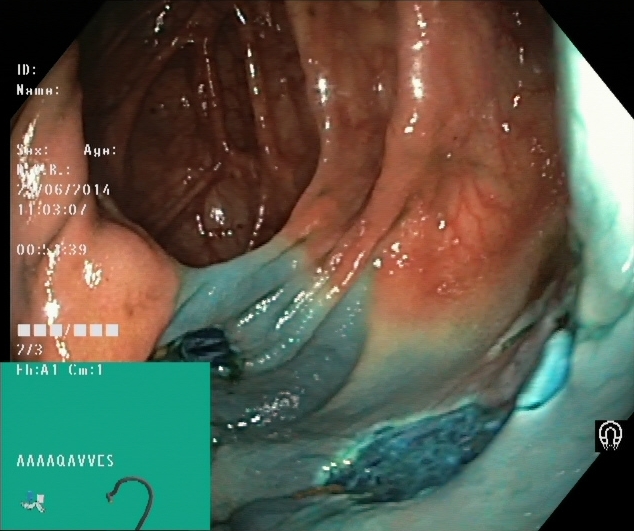Dyed resection margins (post-polypectomy).